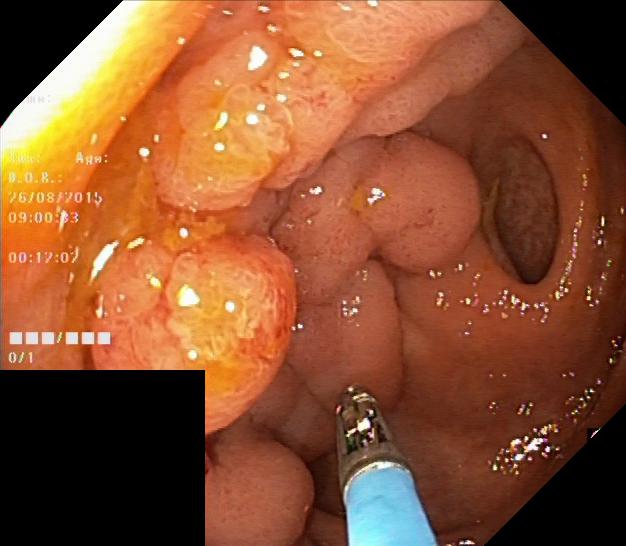modality: lower gastrointestinal endoscopy
category: pathological finding
finding: colorectal polyp(s)